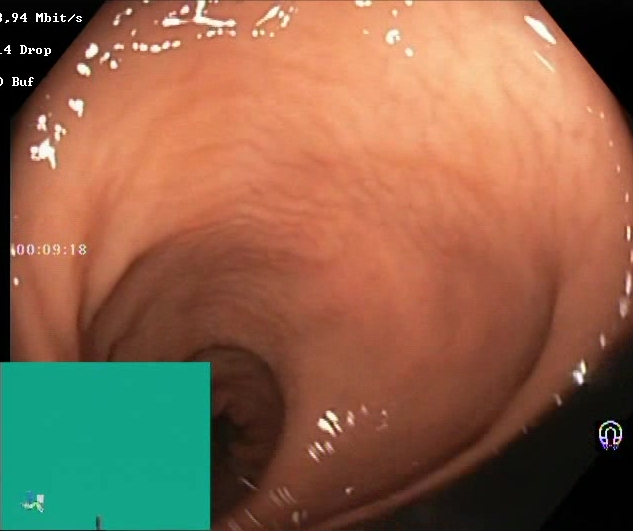Boston Bowel Preparation Scale score 2–3 (adequate preparation).